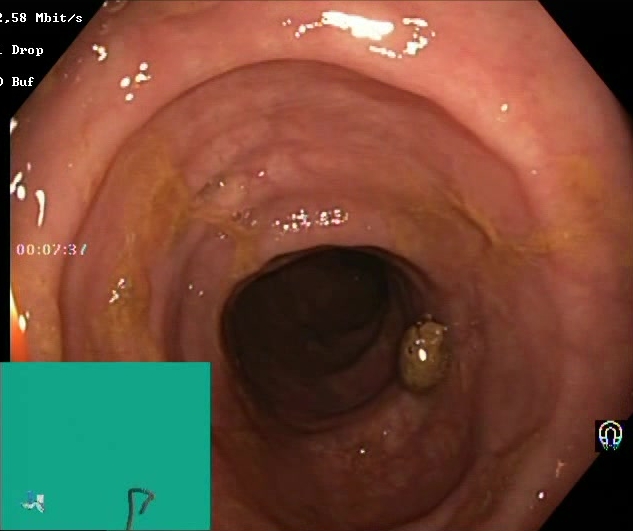modality: lower-GI endoscopy
tract: lower GI tract
finding: BBPS score 2–3 (adequate preparation)